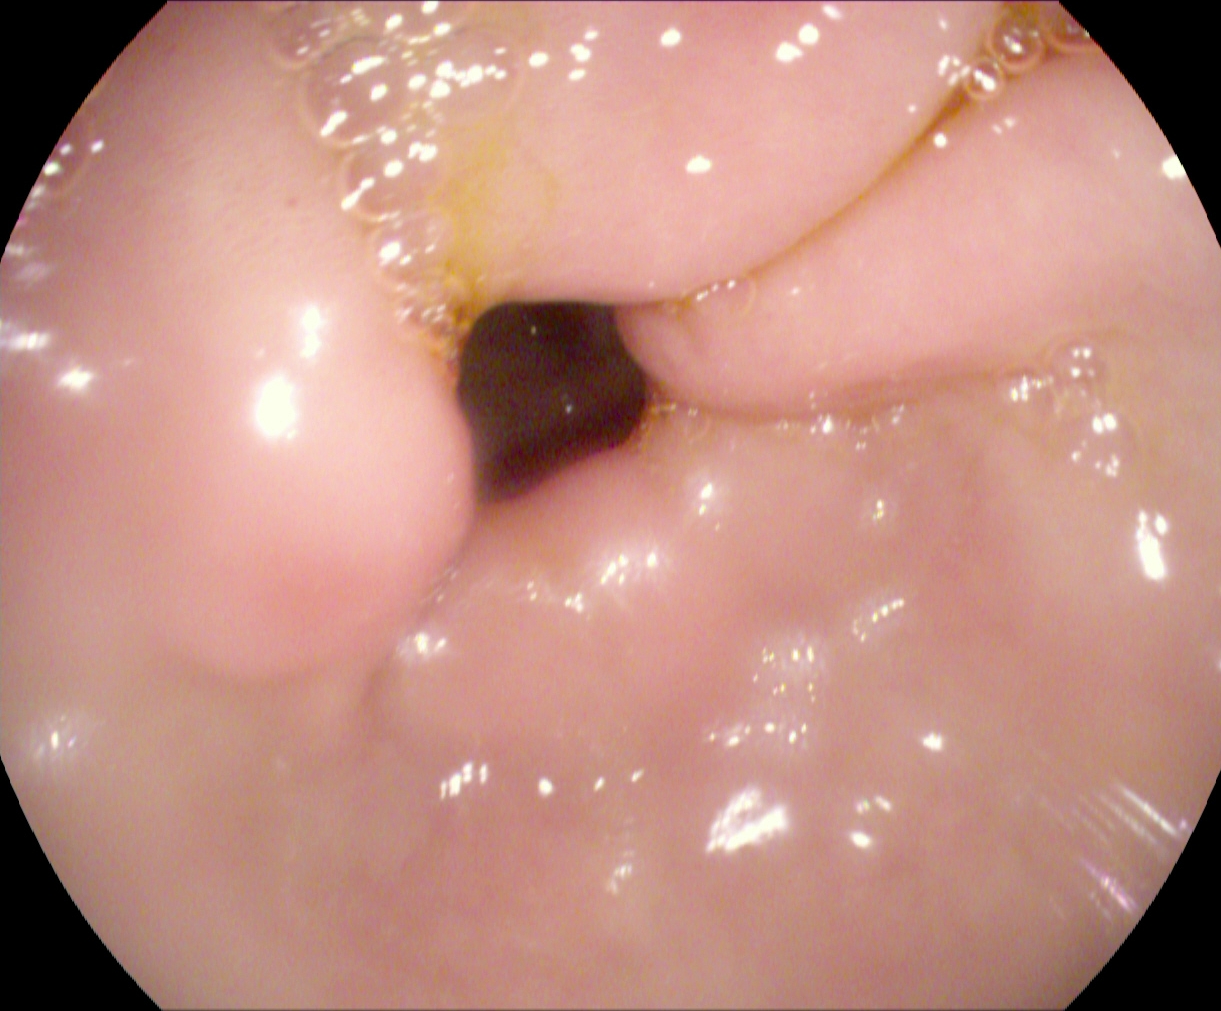Pylorus.